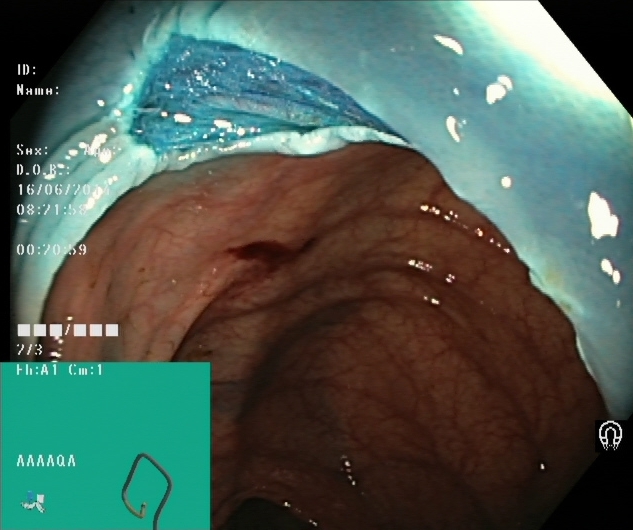This endoscopy frame shows dyed resection margins (post-polypectomy).